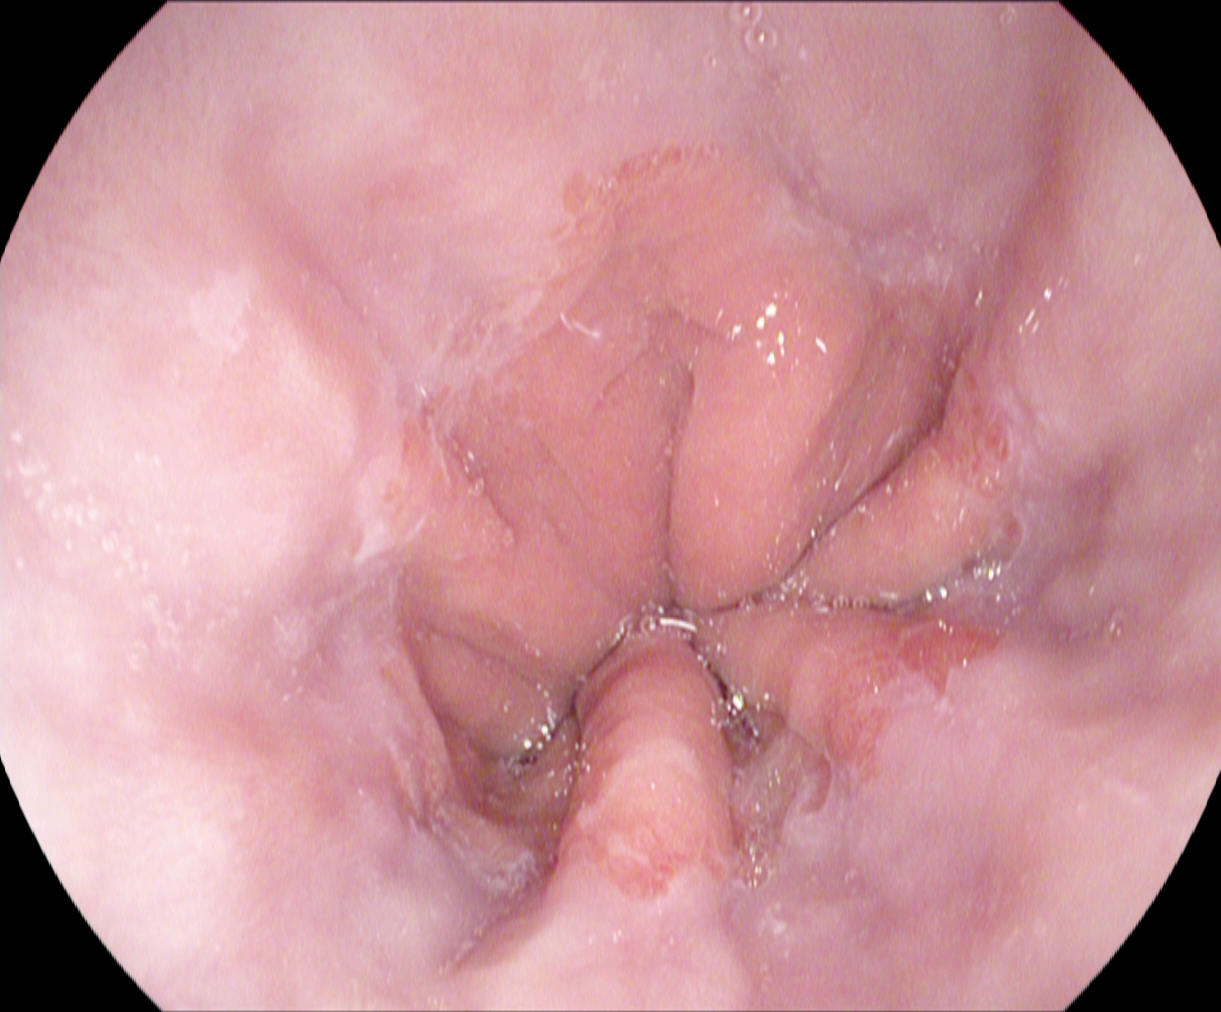Upper-GI endoscopy image of the upper GI tract showing Z-line (gastroesophageal junction).